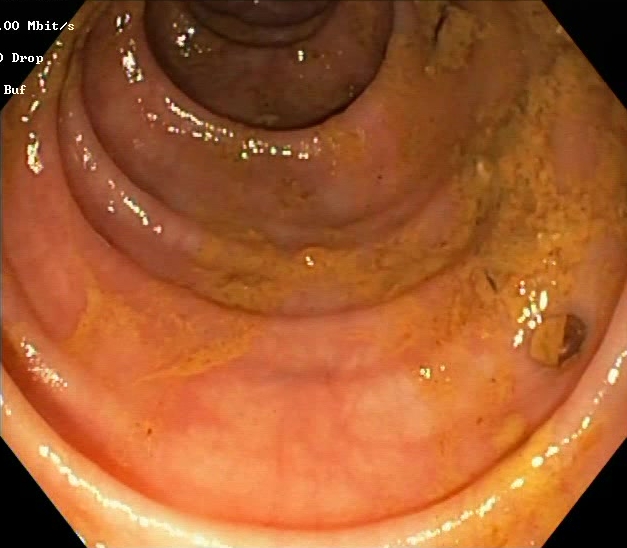Boston Bowel Preparation Scale score 0–1 (inadequate preparation).